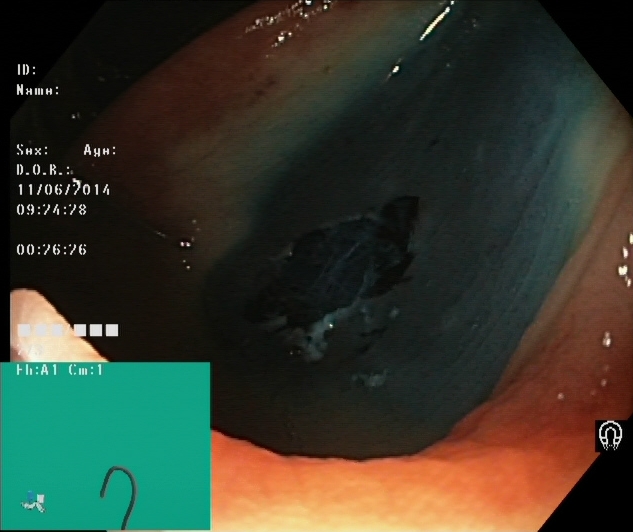This endoscopy frame shows dyed resection margins (post-polypectomy).